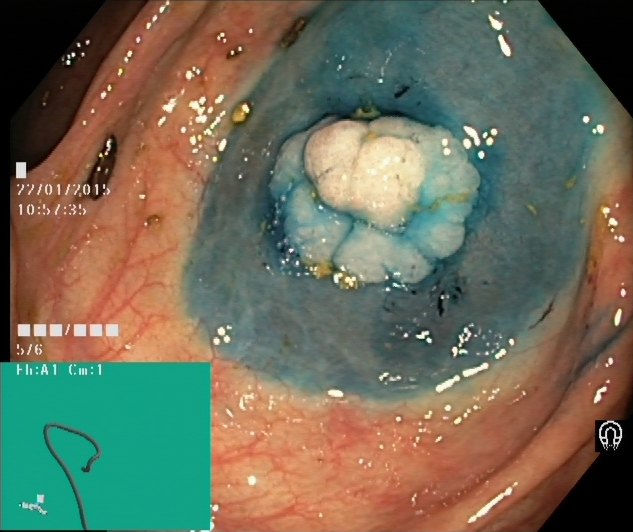PROCEDURE: Lower gastrointestinal endoscopy.
FINDINGS: Dyed and lifted polyp (pre-resection).